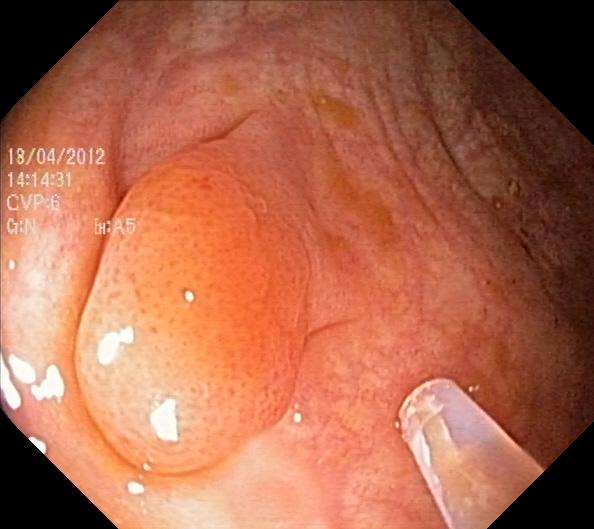Colonoscopy. Tract: lower GI tract. Finding: colorectal polyp(s).